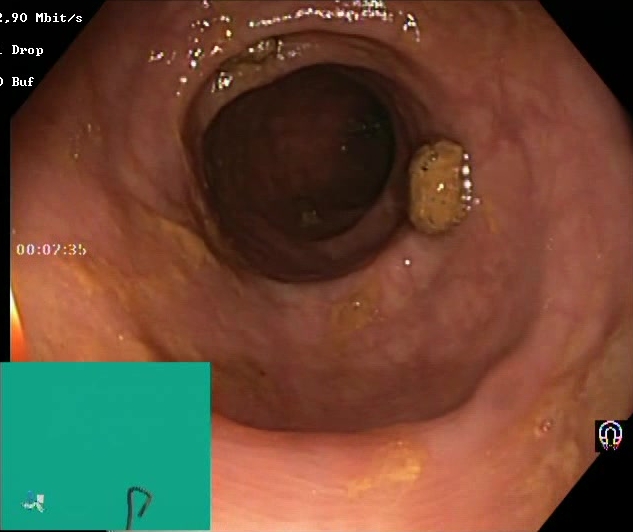Lower gastrointestinal endoscopy — BBPS score 2–3 (adequate preparation).